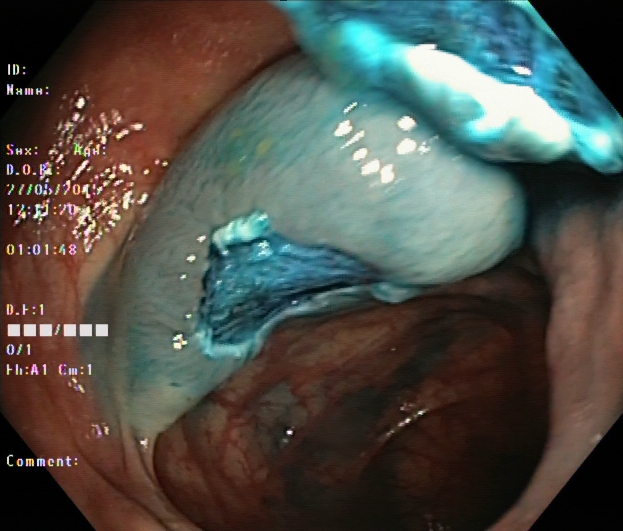PROCEDURE: Lower gastrointestinal endoscopy.
FINDINGS: Dyed resection margins (post-polypectomy).